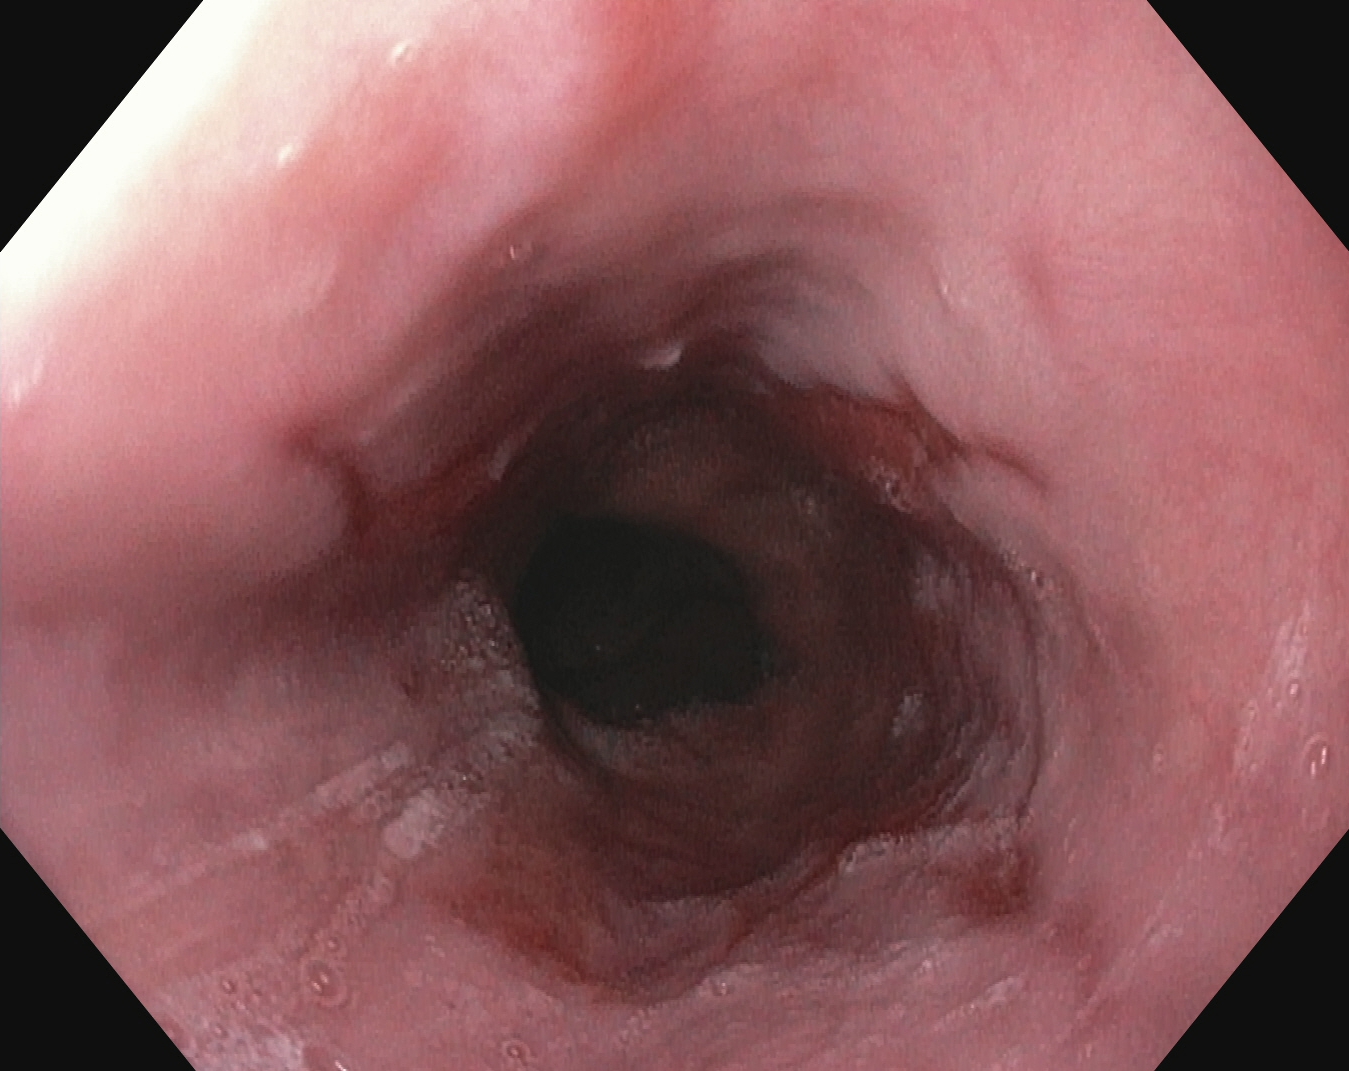Gastroscopy — reflux esophagitis, Los Angeles grade B–D.